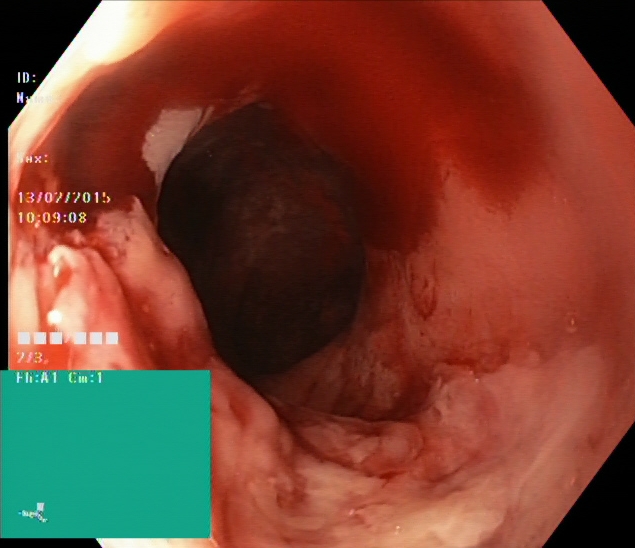{"modality": "colonoscopy", "tract": "lower GI tract", "finding": "ulcerative colitis, Mayo endoscopic subscore 3"}